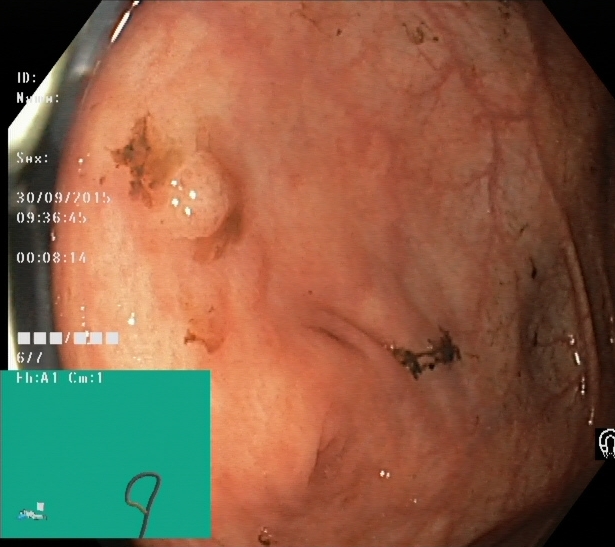PROCEDURE: Lower-GI endoscopy.
FINDINGS: Cecum.